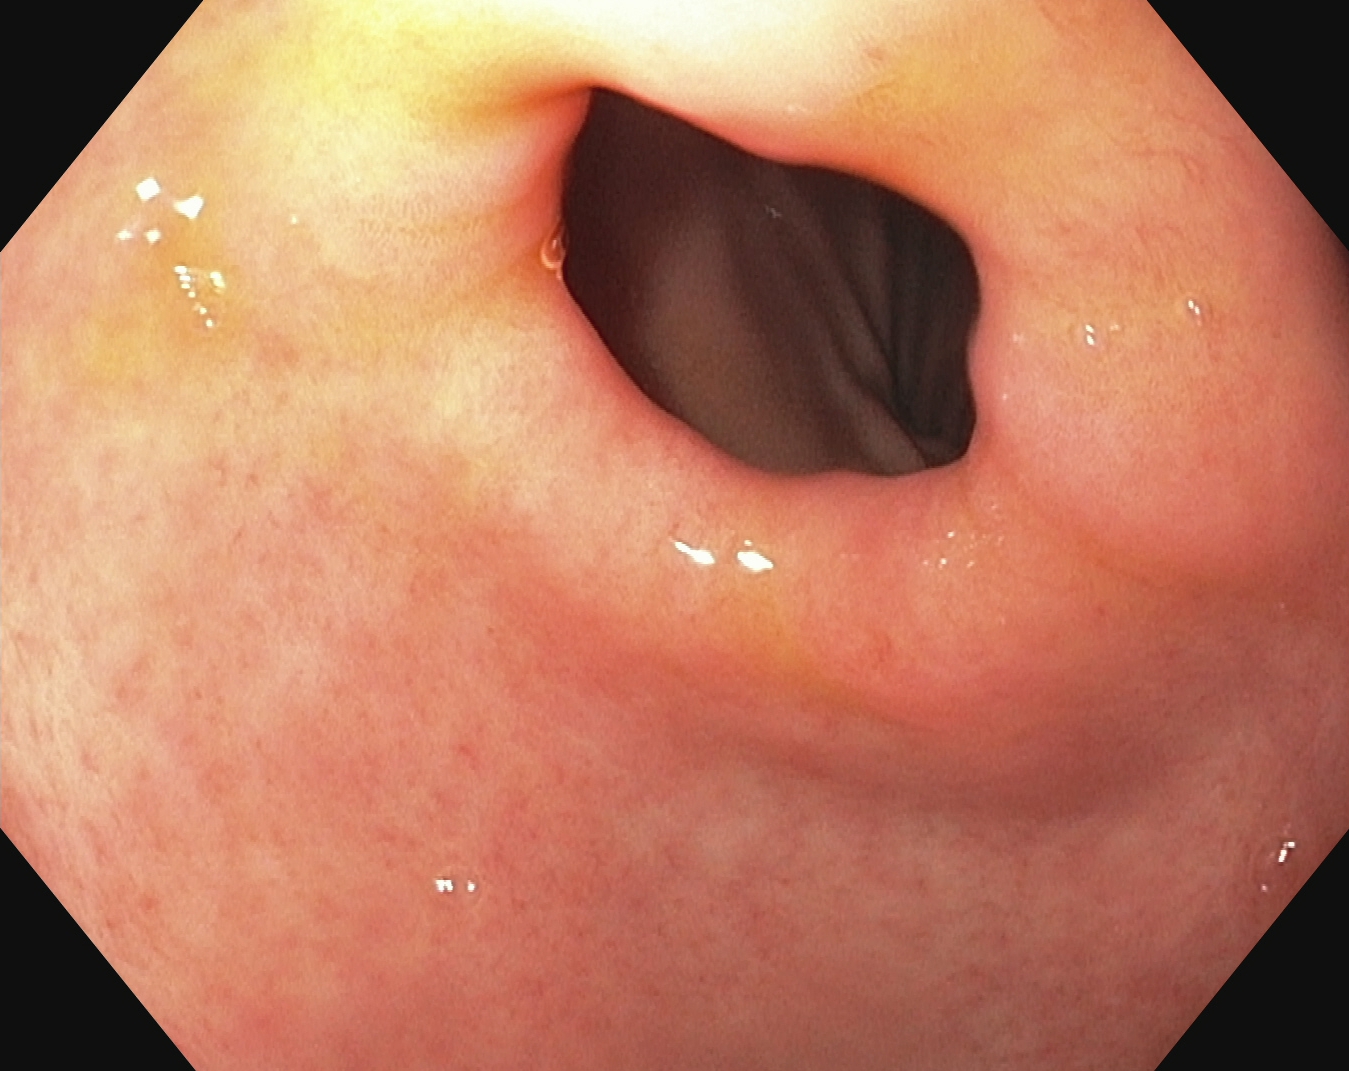Upper-GI endoscopy. Finding: pylorus.